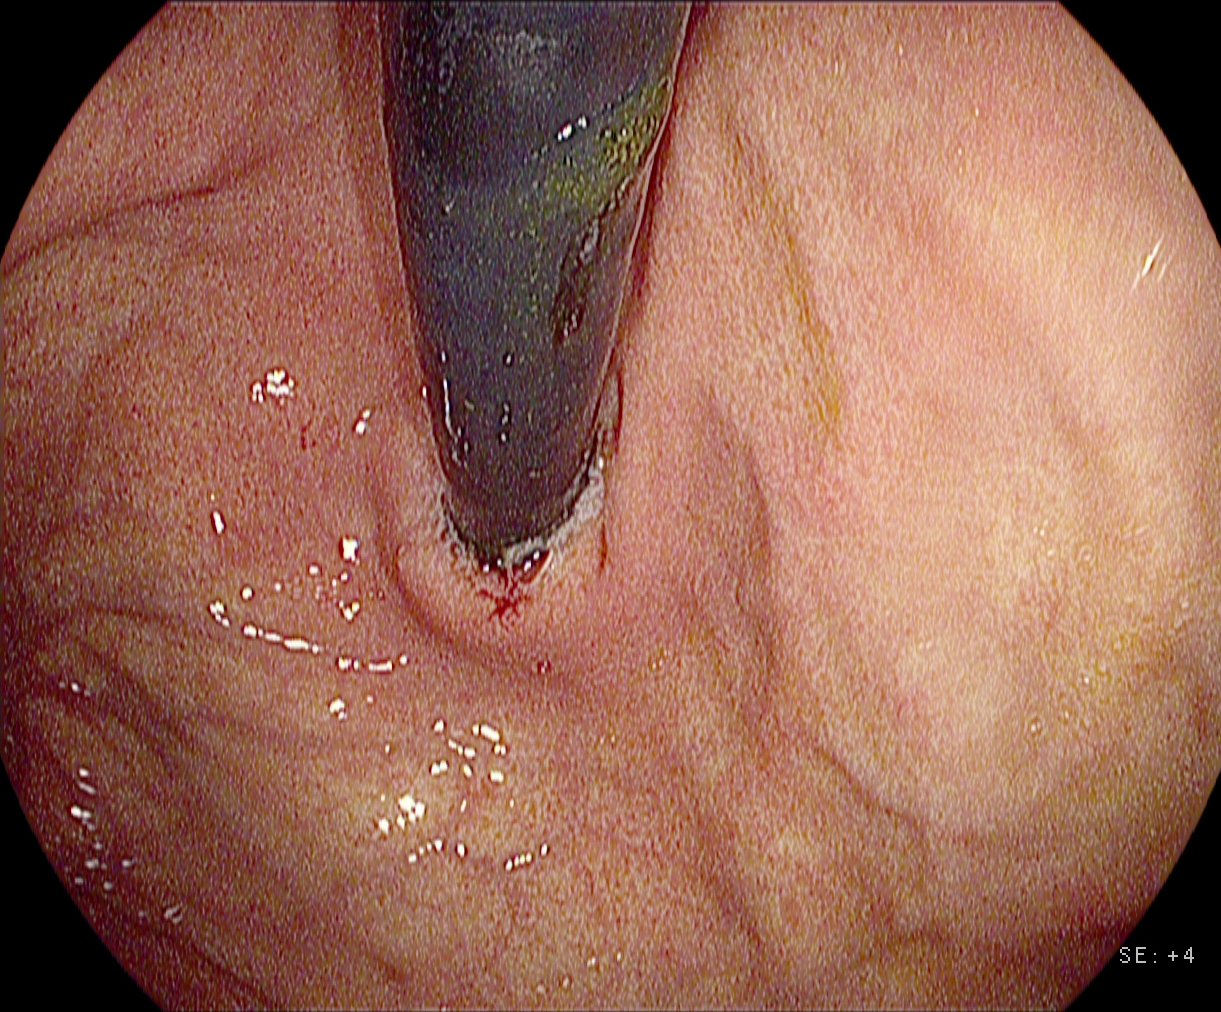Stomach in retroflexion.